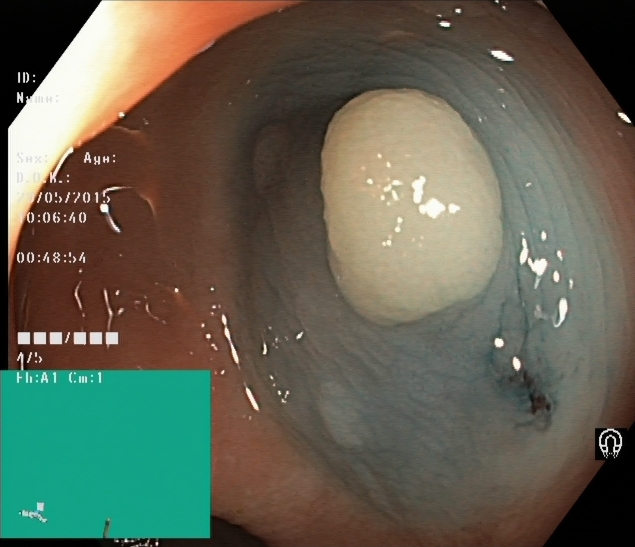PROCEDURE: Lower-GI endoscopy.
FINDINGS: Dyed and lifted polyp (pre-resection).